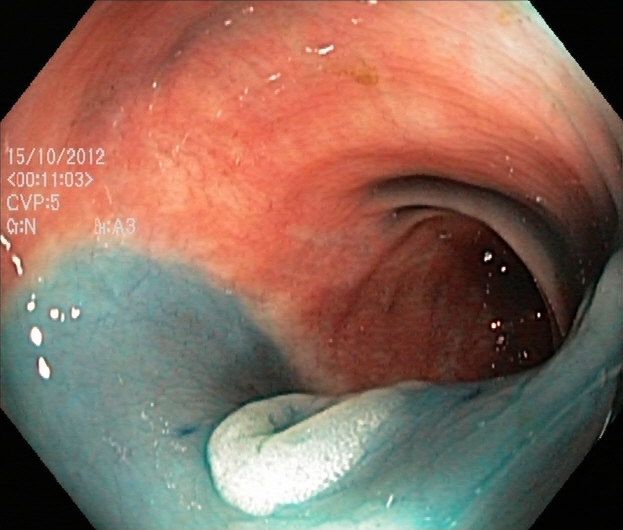Endoscopy image showing dyed and lifted polyp (pre-resection).